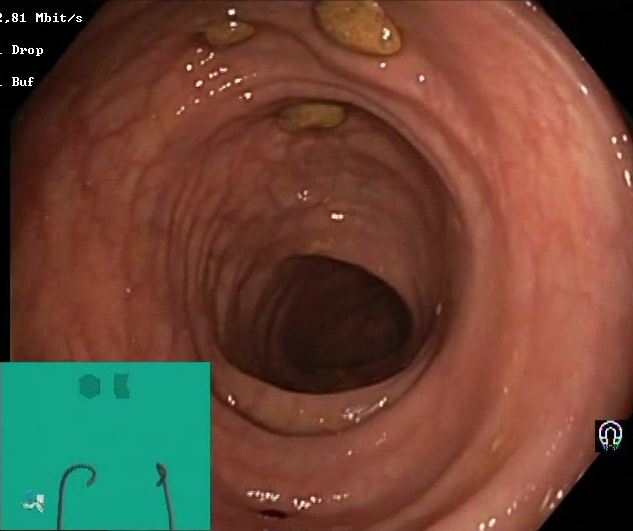Lower gastrointestinal endoscopy. Tract: lower GI tract. Finding: BBPS score 2–3 (adequate preparation).